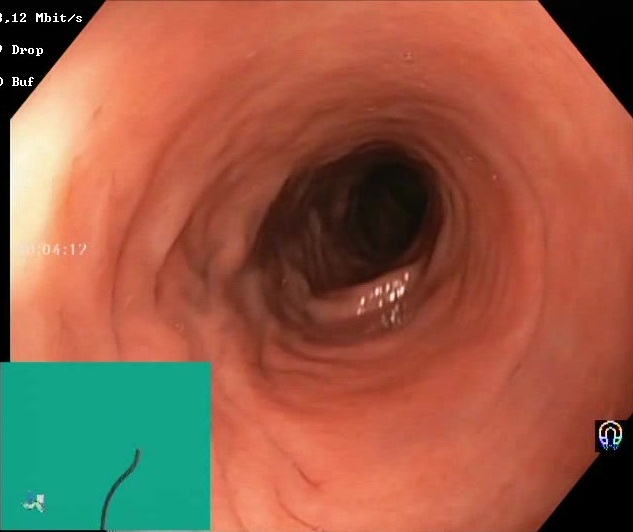{"modality": "lower gastrointestinal endoscopy", "category": "mucosal-view quality", "finding": "Boston Bowel Preparation Scale score 2\u20133 (adequate preparation)"}